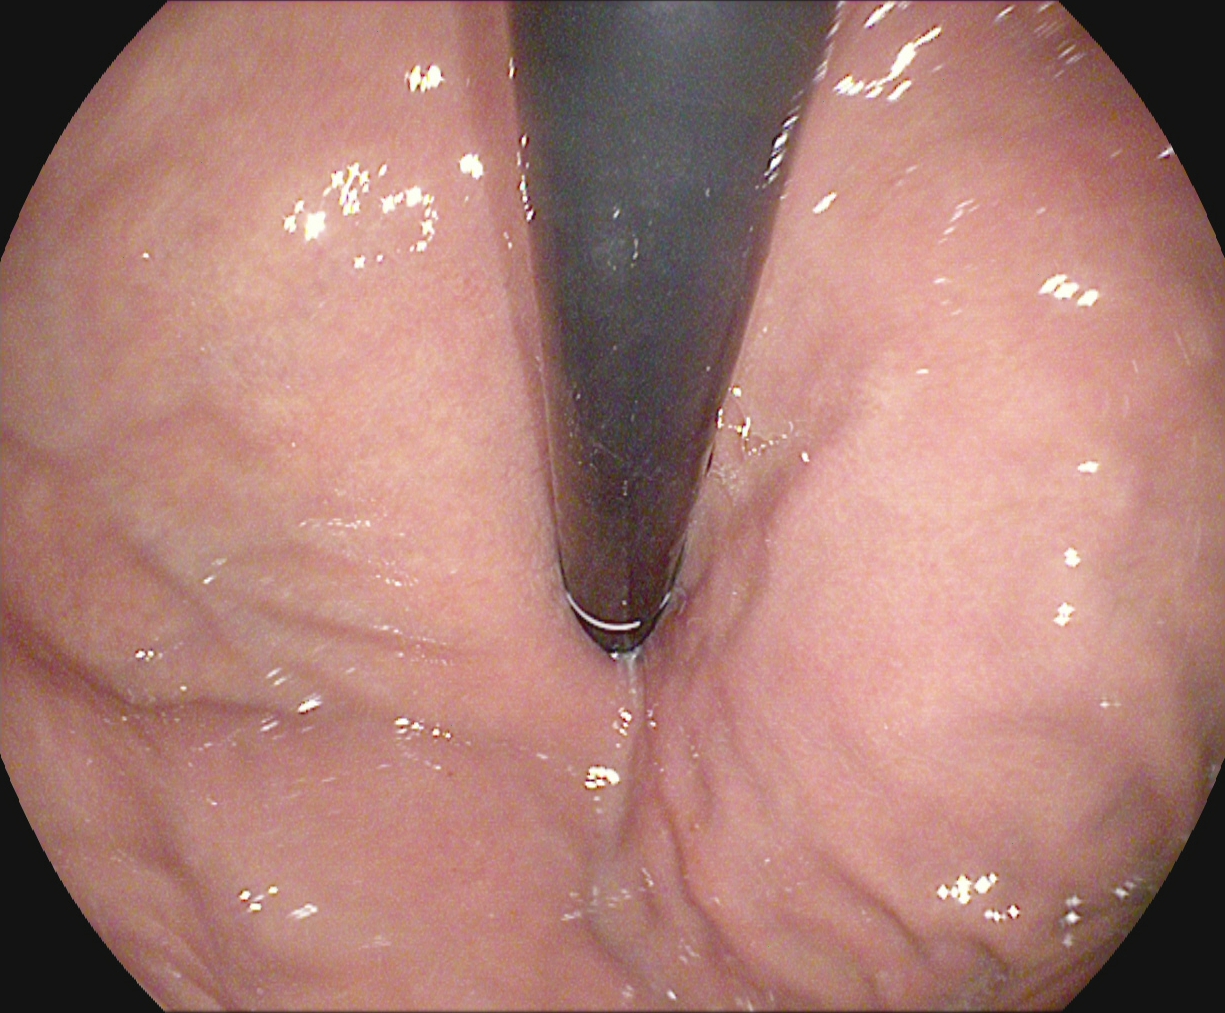Gastroscopy. Tract: upper GI tract. Finding: stomach in retroflexion.